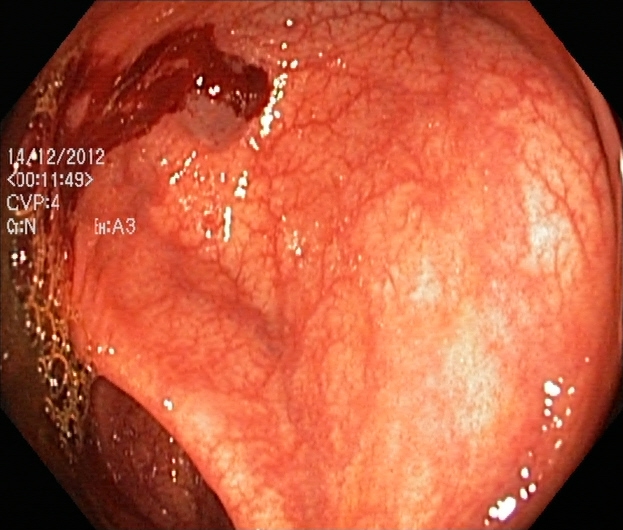This endoscopy frame shows ulcerative colitis, Mayo endoscopic subscore 0–1.